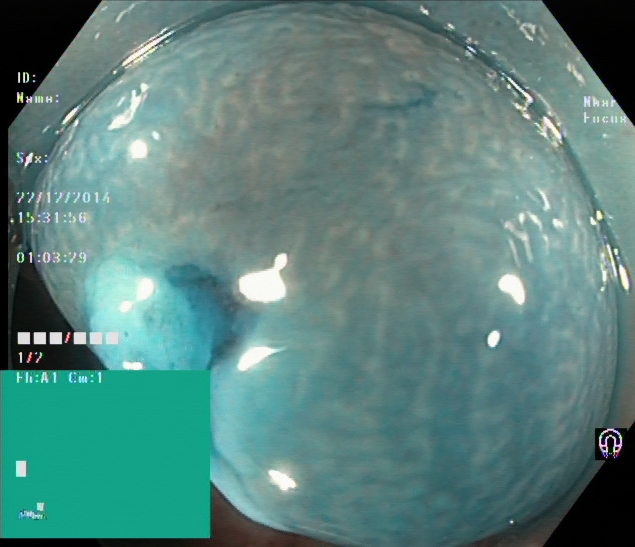Dyed and lifted polyp (pre-resection).